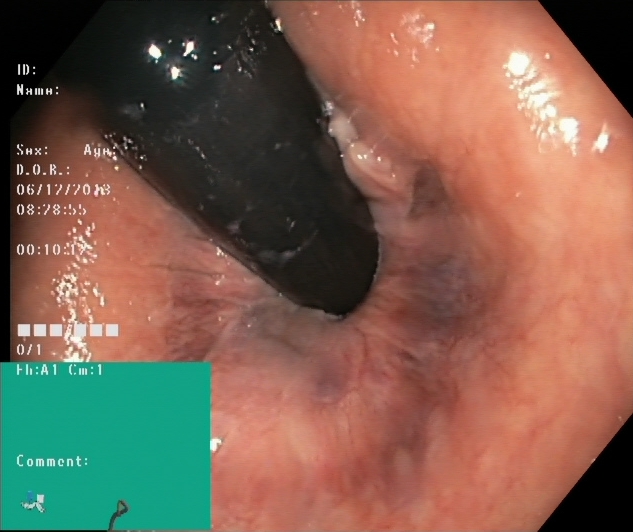modality: colonoscopy; finding: rectum in retroflexion